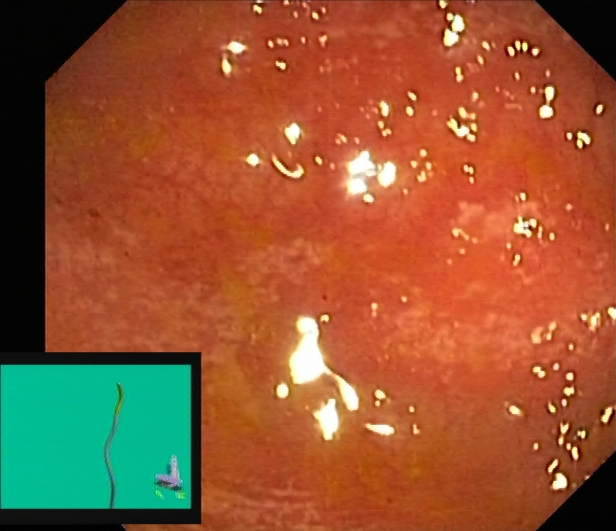This endoscopic image shows ulcerative colitis, Mayo endoscopic subscore 2.